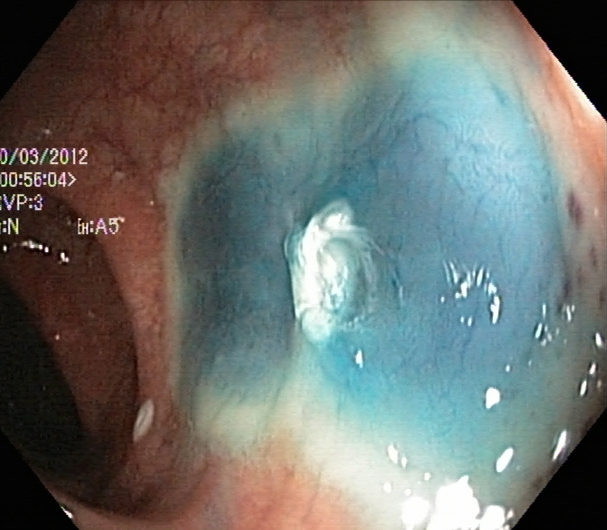This endoscopy frame of the lower GI tract shows dyed resection margins (post-polypectomy).